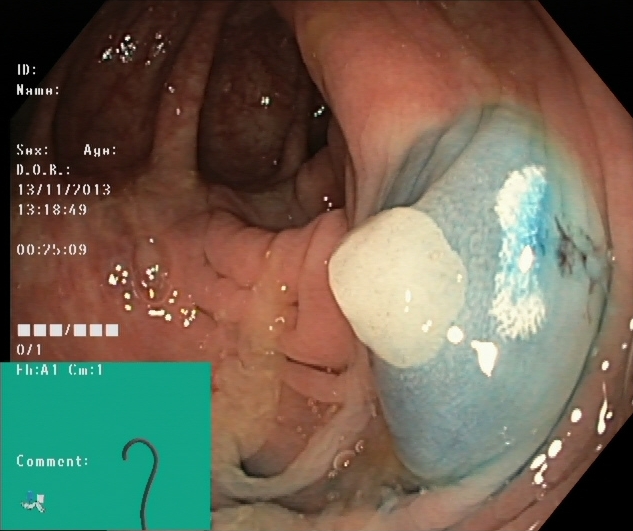Lower-GI endoscopy — dyed and lifted polyp (pre-resection).